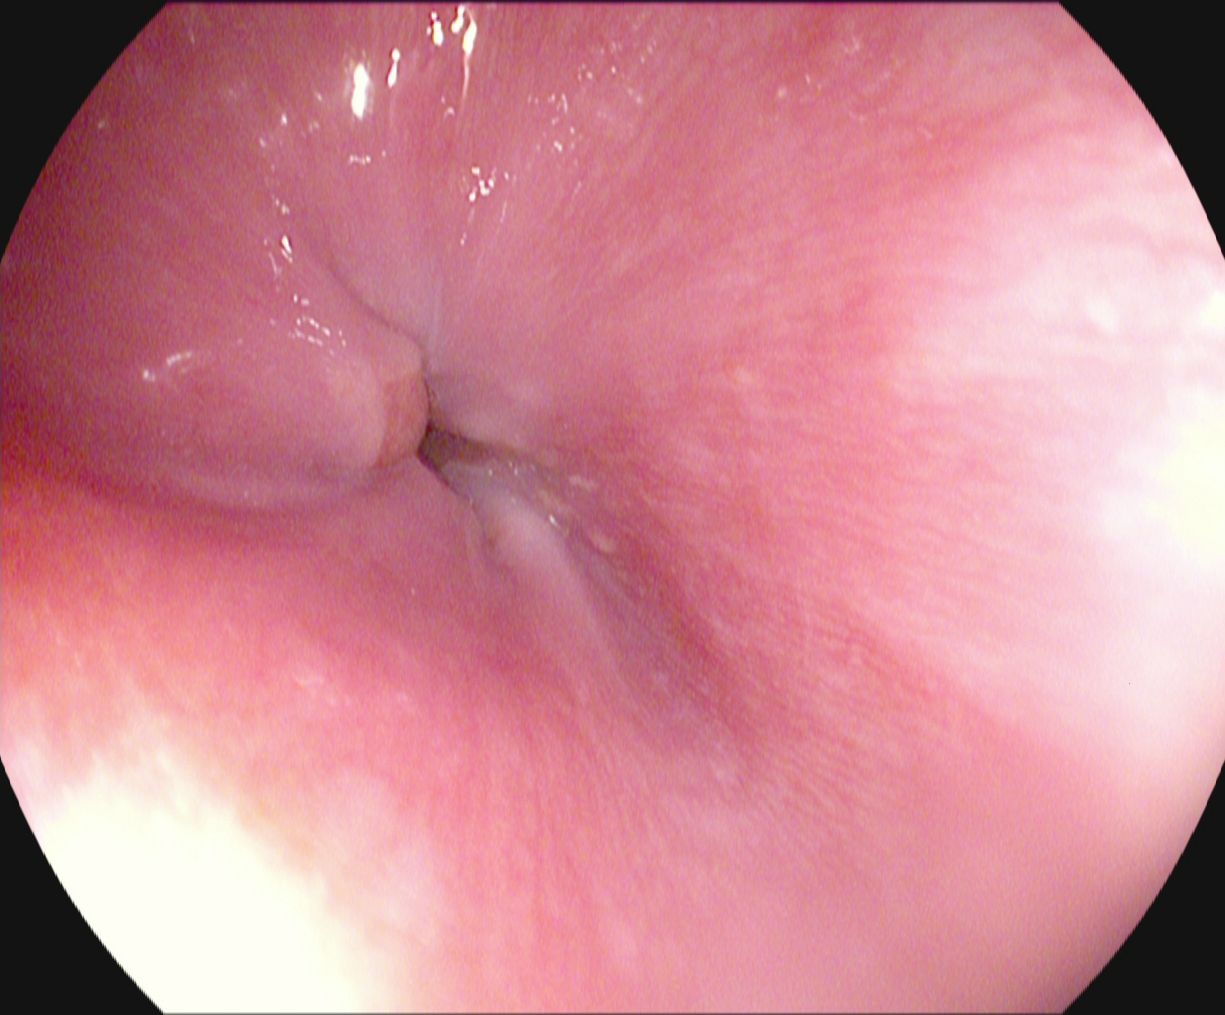modality: esophagogastroduodenoscopy
category: anatomical landmark
finding: Z-line (gastroesophageal junction)